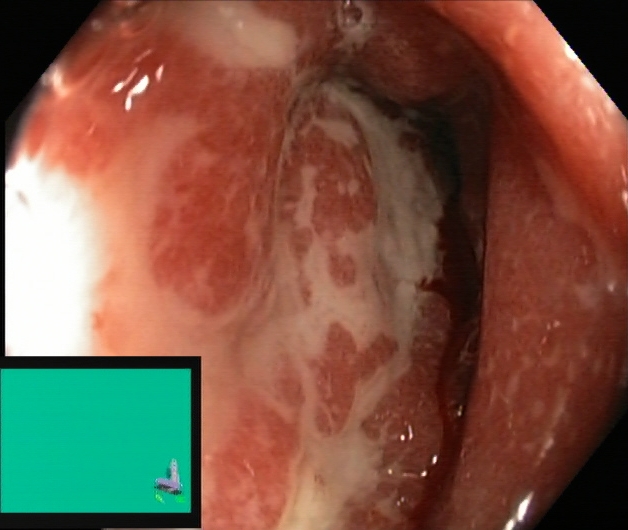Endoscopy image showing ulcerative colitis, Mayo endoscopic subscore 2.